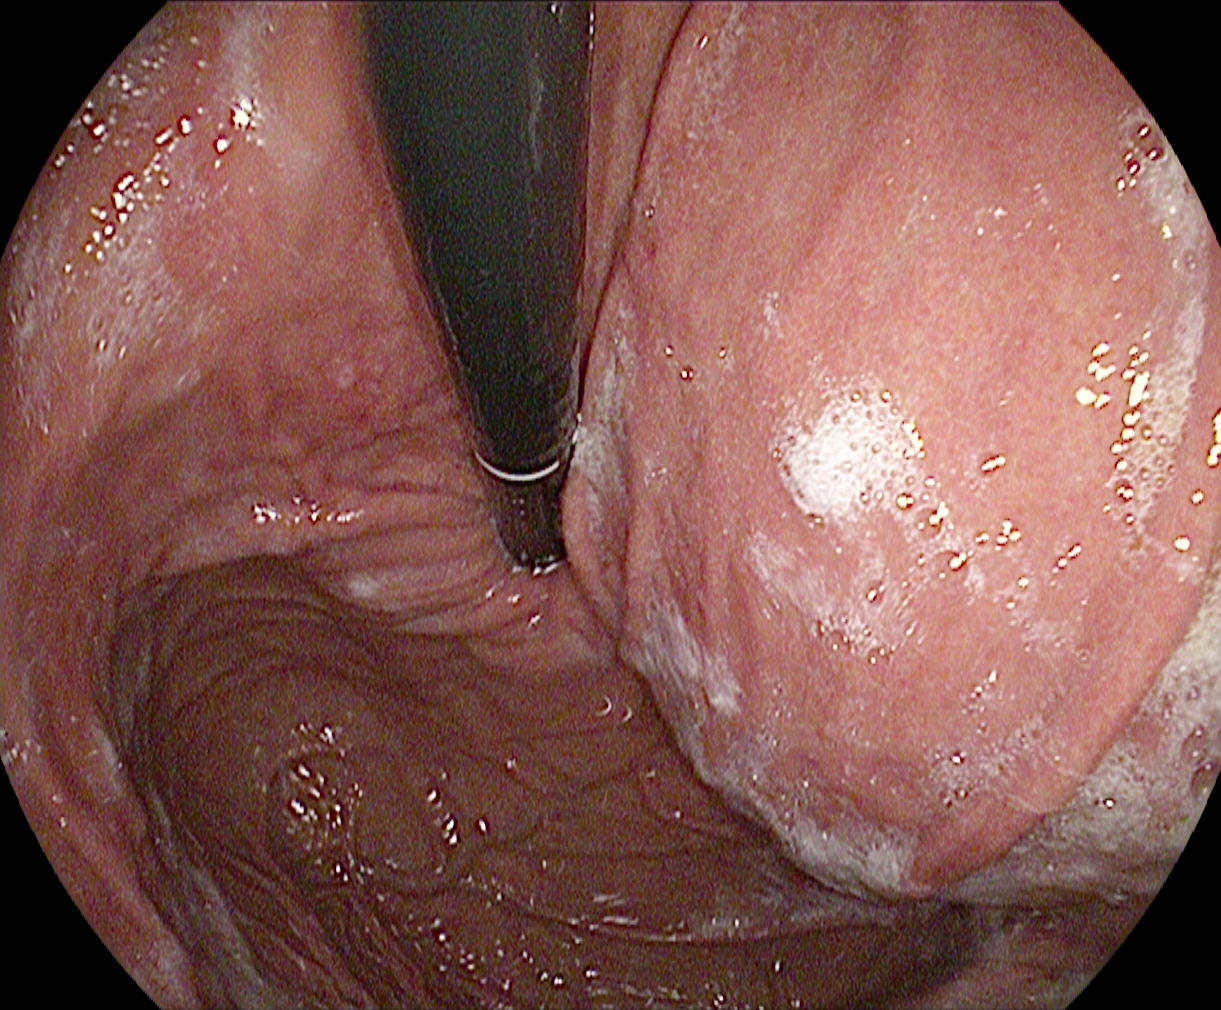Stomach in retroflexion.